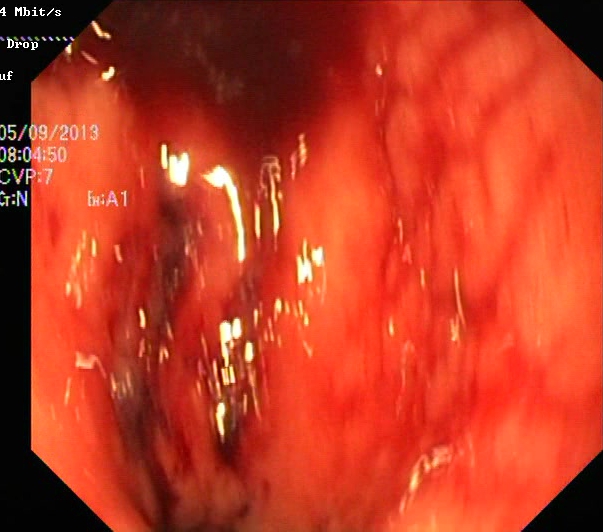PROCEDURE: Lower-GI endoscopy.
CATEGORY: Pathological finding.
FINDINGS: UC, Mayo endoscopic subscore 3.